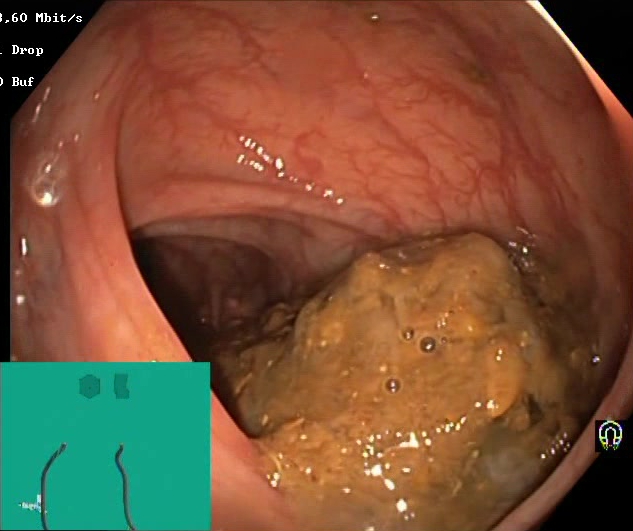Boston Bowel Preparation Scale score 0–1 (inadequate preparation).